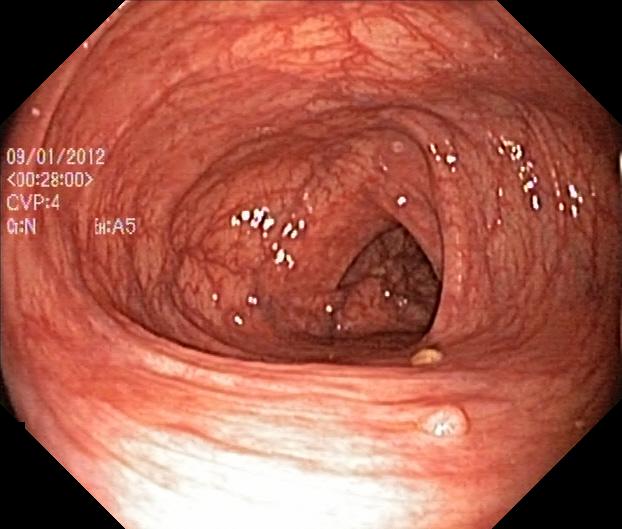Colorectal polyp(s).